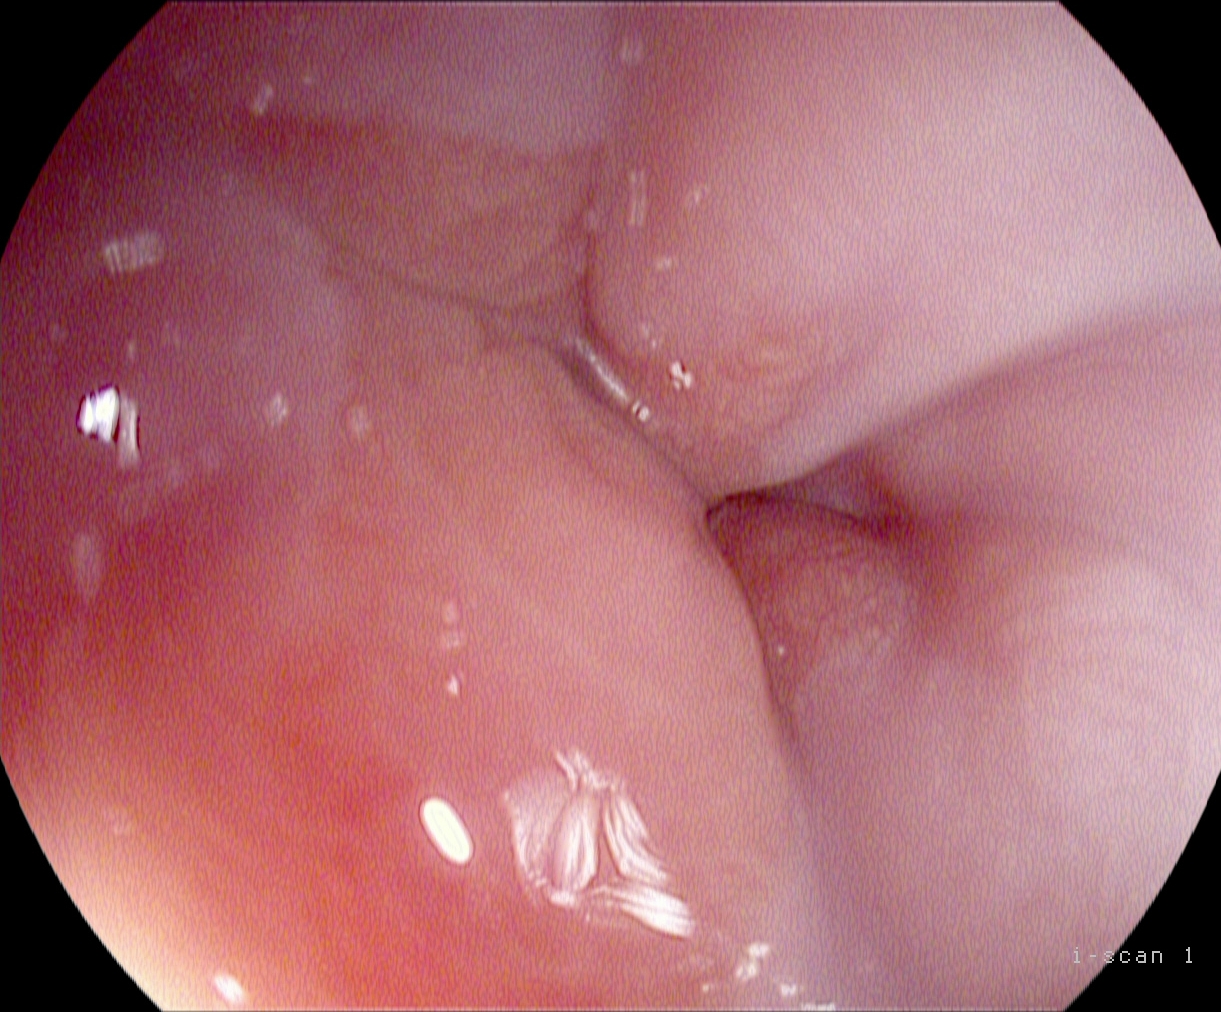Esophagogastroduodenoscopy — Z-line (gastroesophageal junction).